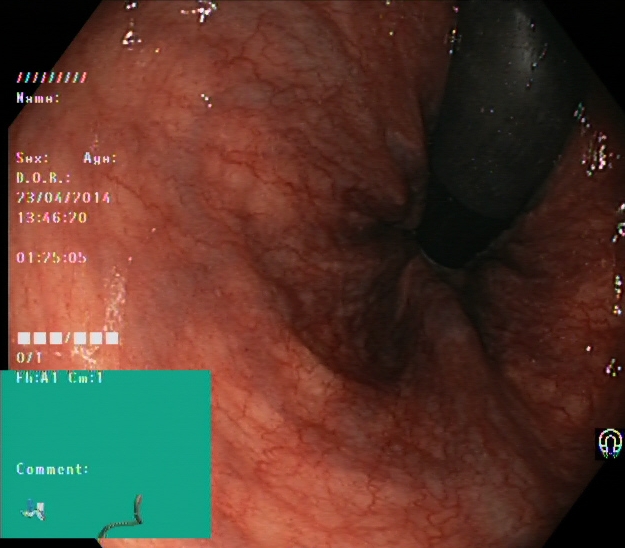modality: colonoscopy | category: anatomical landmark | finding: rectum in retroflexion